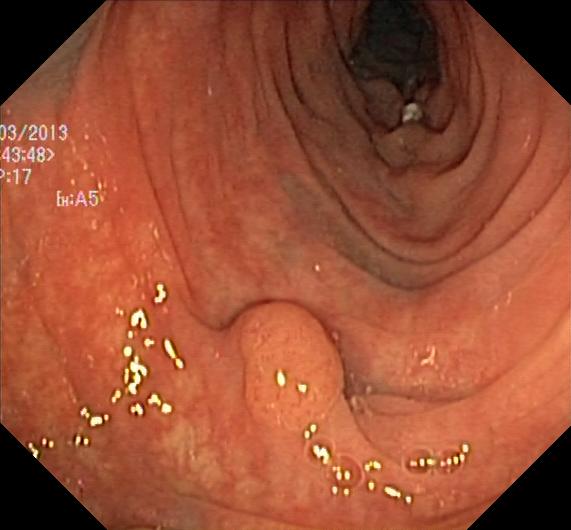PROCEDURE: Lower-GI endoscopy.
FINDINGS: Colorectal polyp(s).